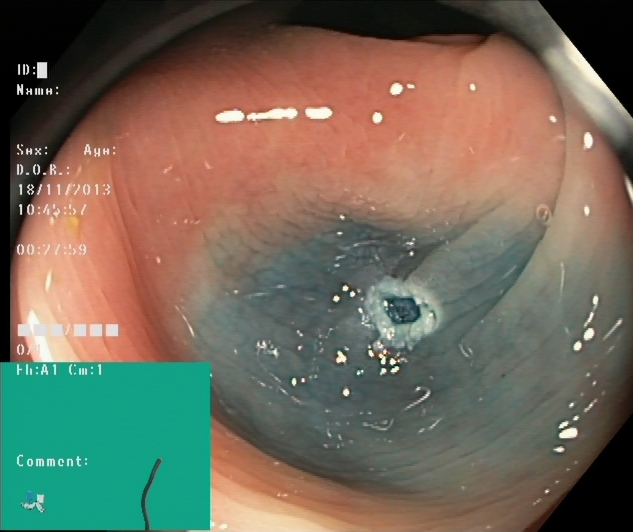{"modality": "lower gastrointestinal endoscopy", "tract": "lower GI tract", "finding": "dyed resection margins (post-polypectomy)"}